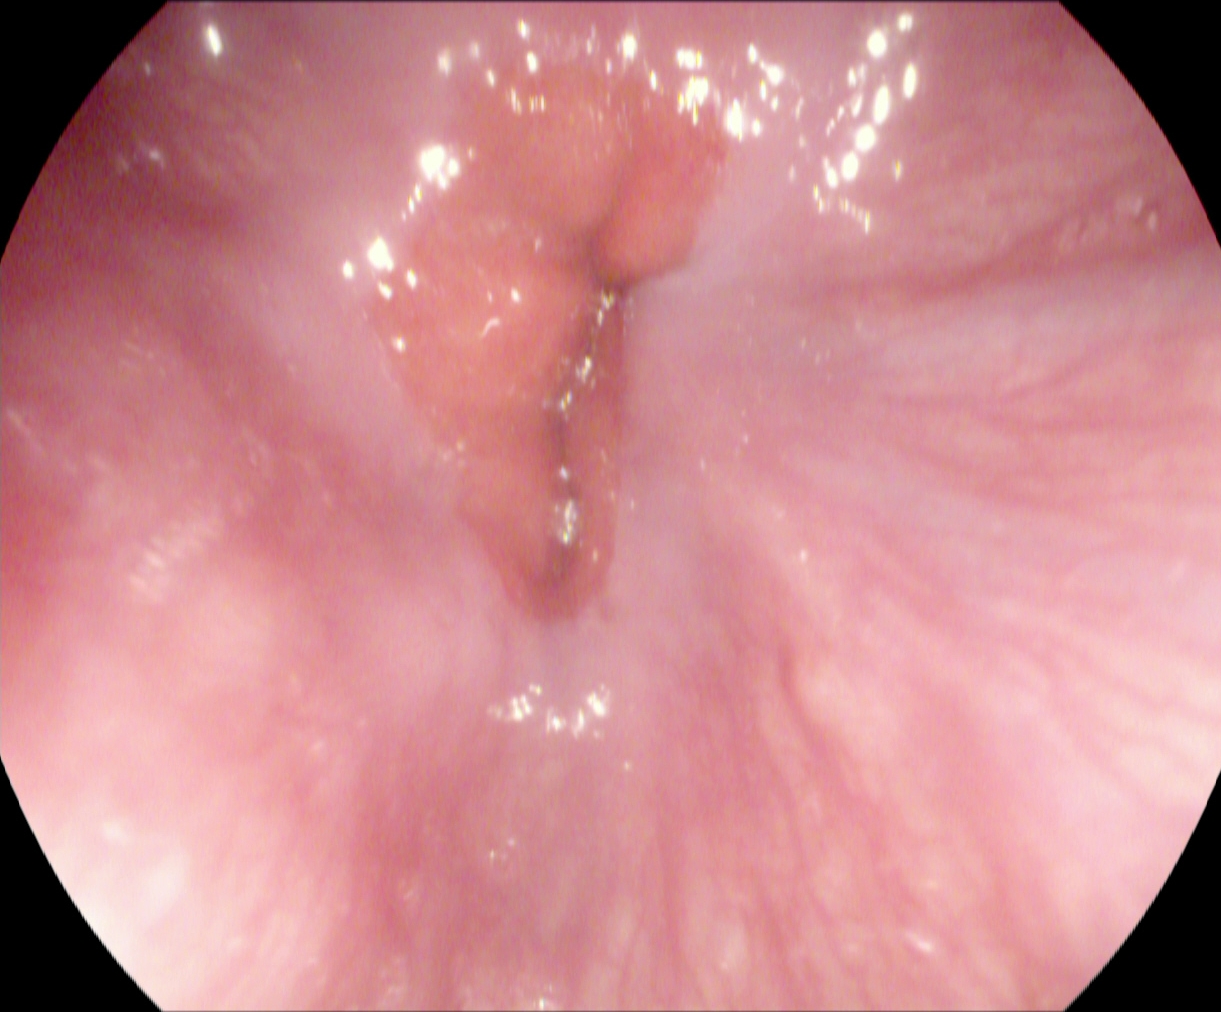This endoscopy frame of the upper GI tract shows Z-line (gastroesophageal junction).